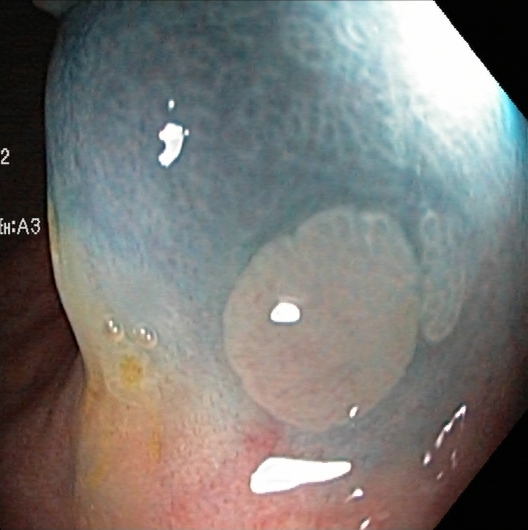modality: colonoscopy | category: therapeutic intervention | finding: dyed and lifted polyp (pre-resection)